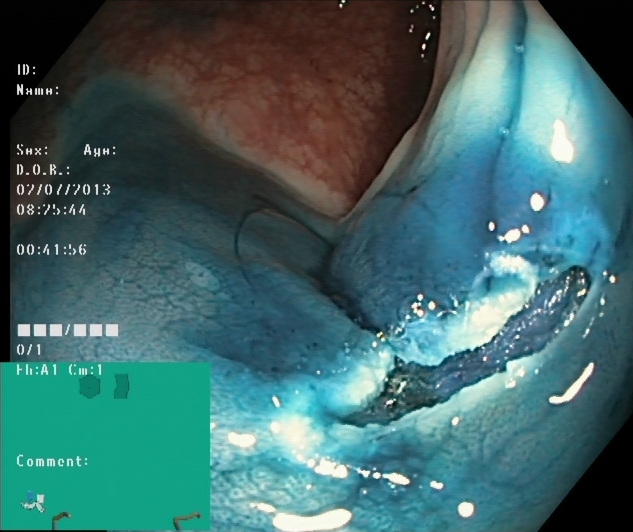This endoscopic image of the lower GI tract shows dyed resection margins (post-polypectomy).